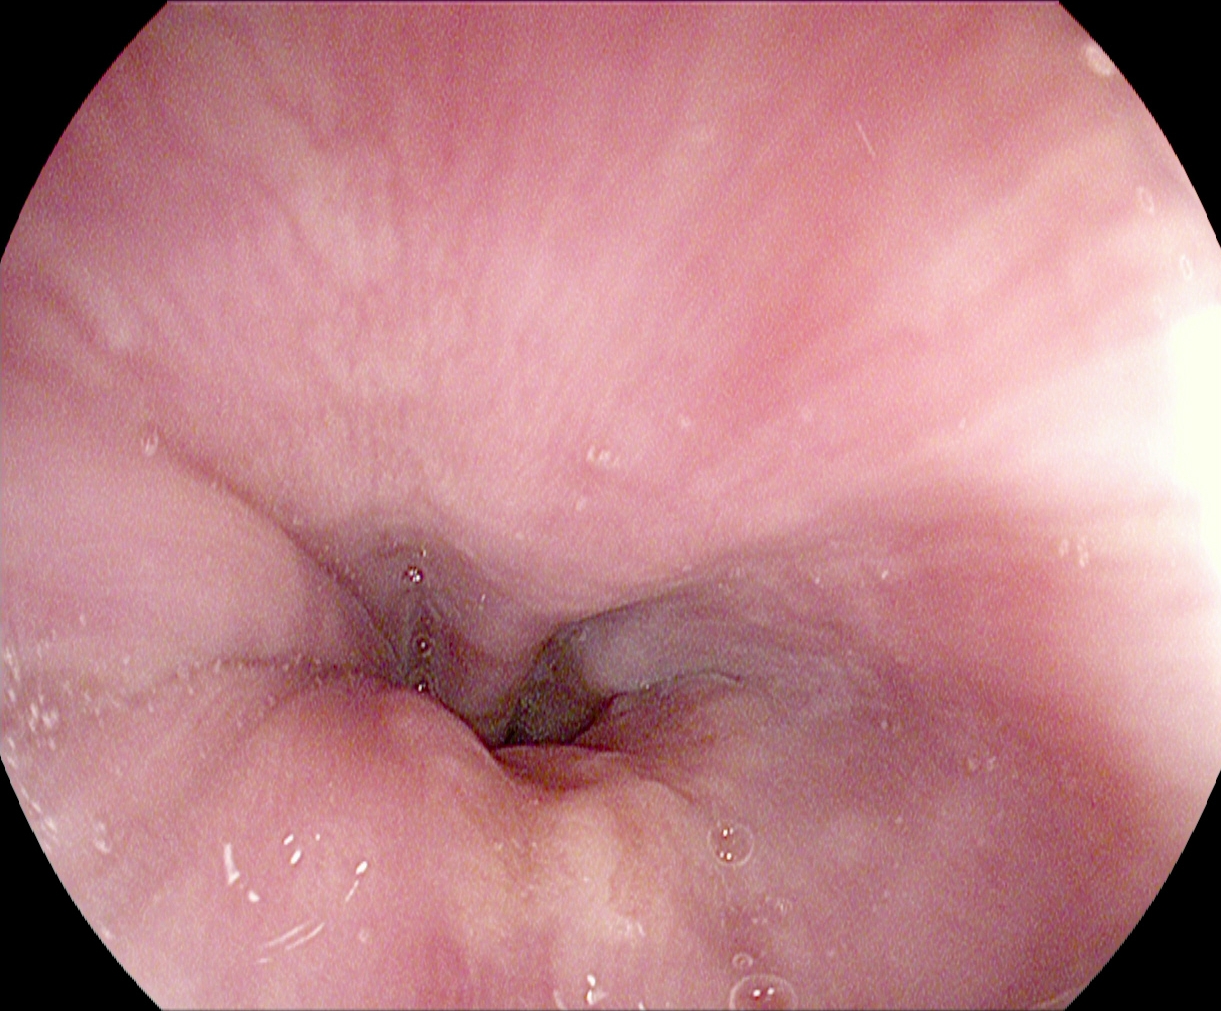{"modality": "gastroscopy", "category": "anatomical landmark", "finding": "Z-line (gastroesophageal junction)"}